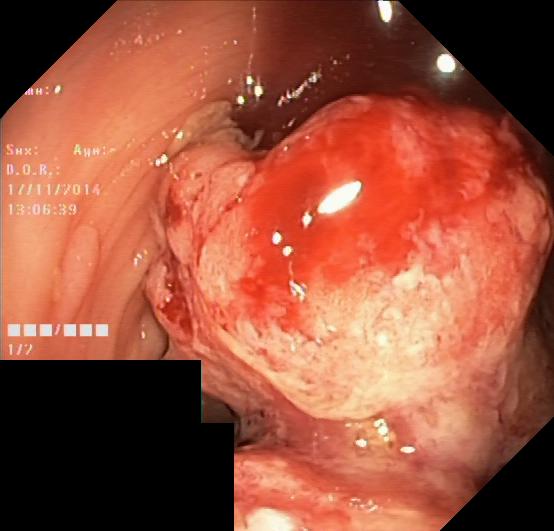Colonoscopy. Pathological finding. Finding: colorectal polyp(s).